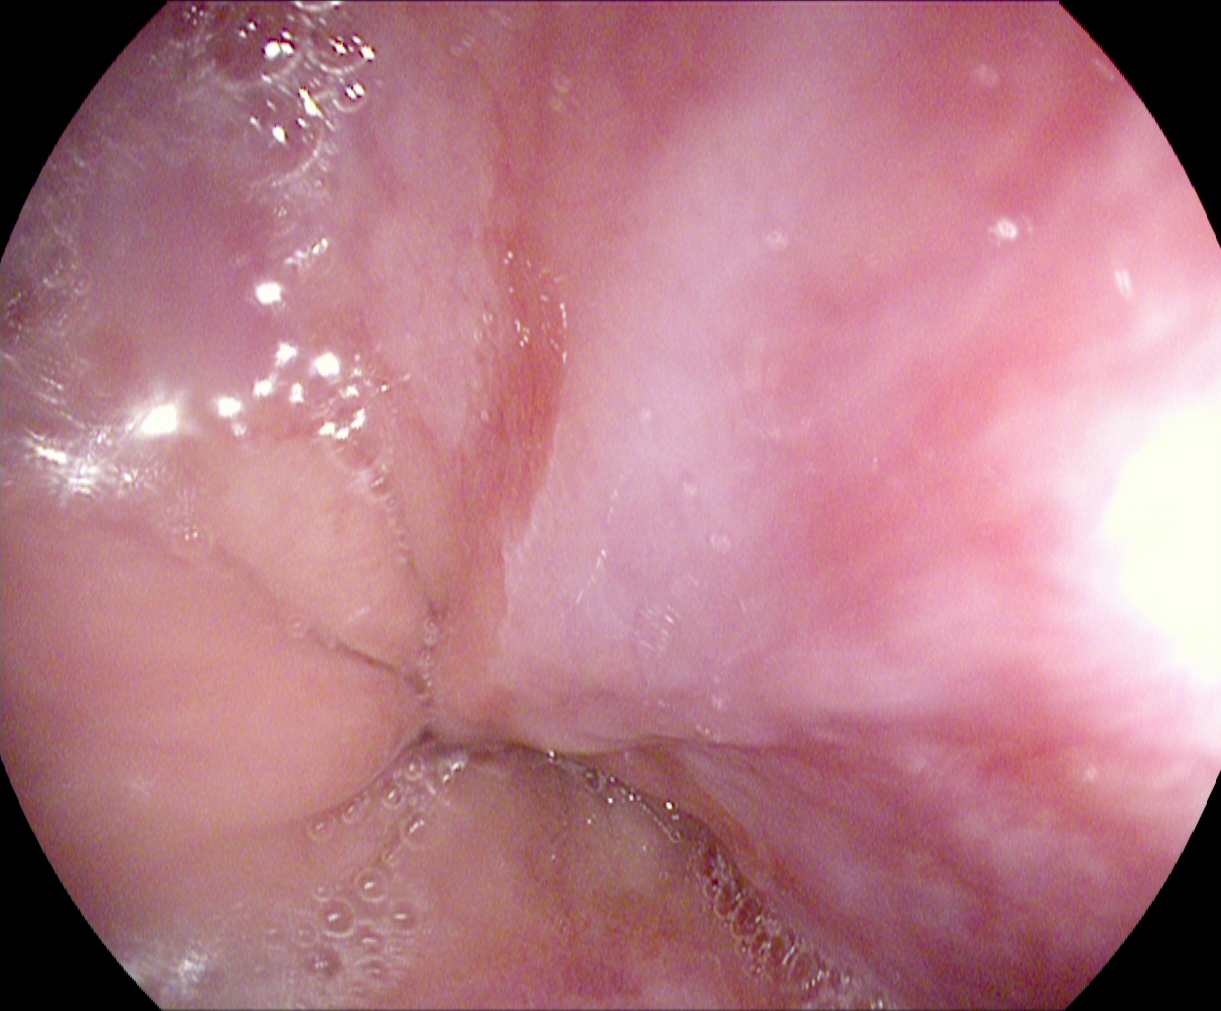modality: gastroscopy
tract: upper GI tract
finding: Z-line (gastroesophageal junction)